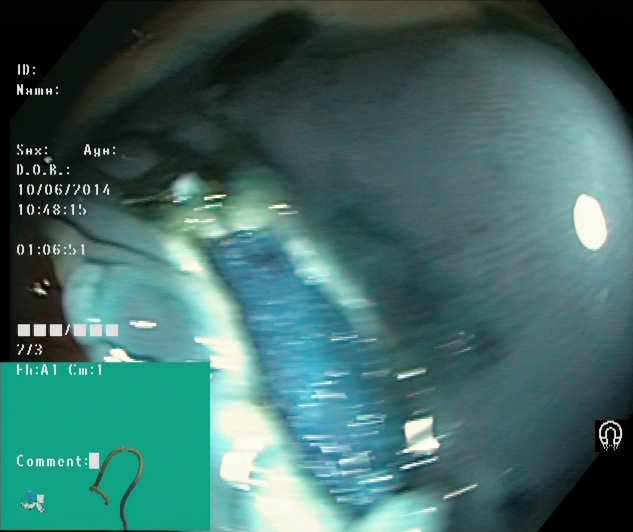This endoscopic image of the lower GI tract shows dyed resection margins (post-polypectomy).